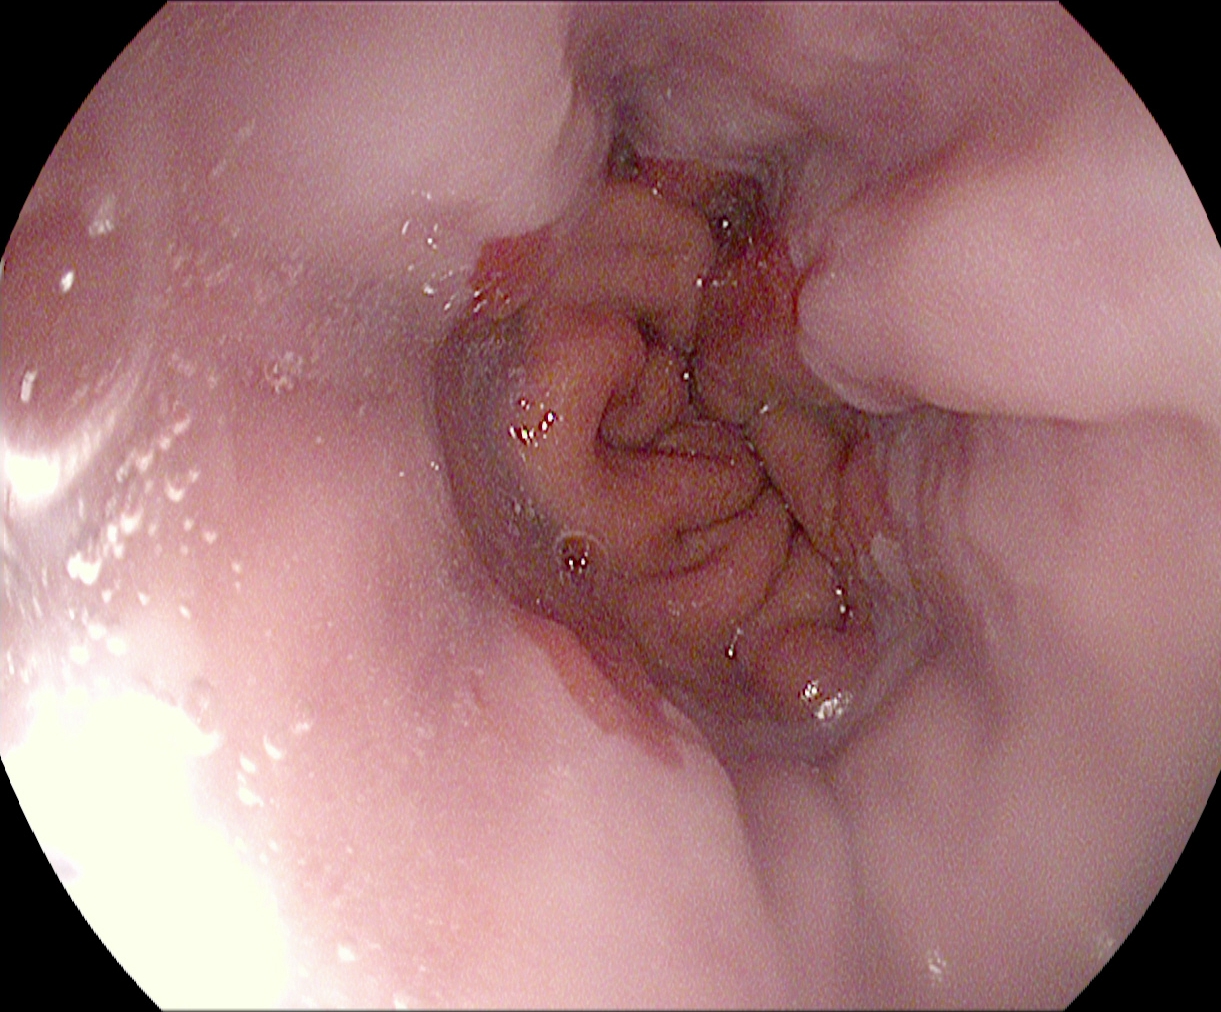This endoscopy frame of the upper GI tract shows reflux esophagitis, Los Angeles grade A.